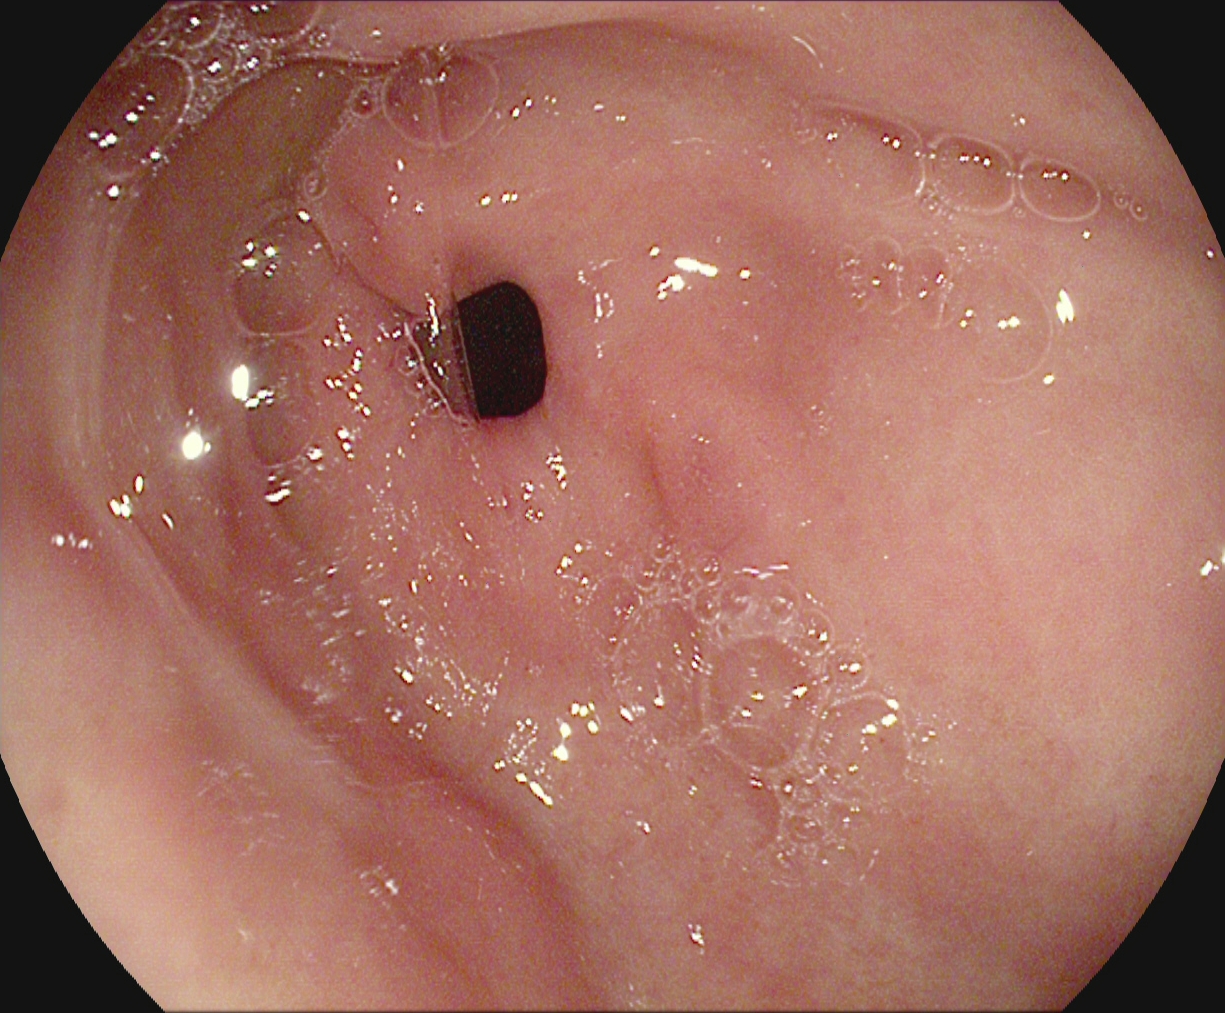PROCEDURE: EGD.
CATEGORY: Anatomical landmark.
FINDINGS: Pylorus.